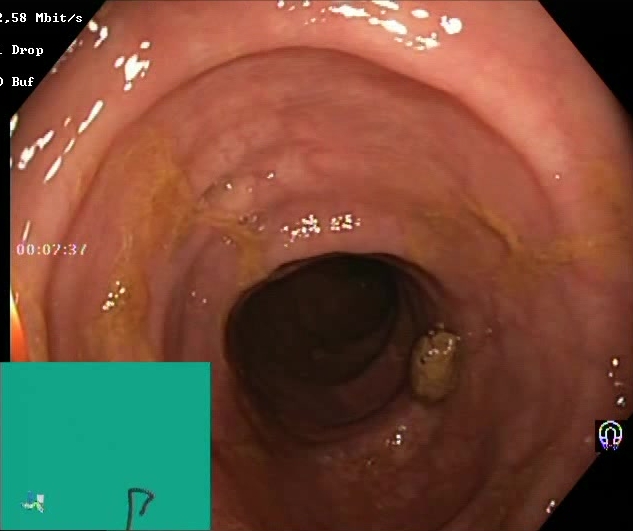PROCEDURE: Colonoscopy.
FINDINGS: Boston Bowel Preparation Scale score 2–3 (adequate preparation).